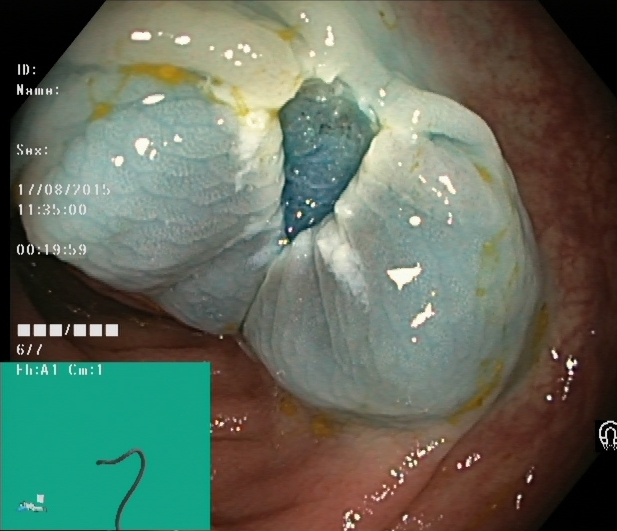modality: lower gastrointestinal endoscopy
tract: lower GI tract
category: therapeutic intervention
finding: dyed resection margins (post-polypectomy)